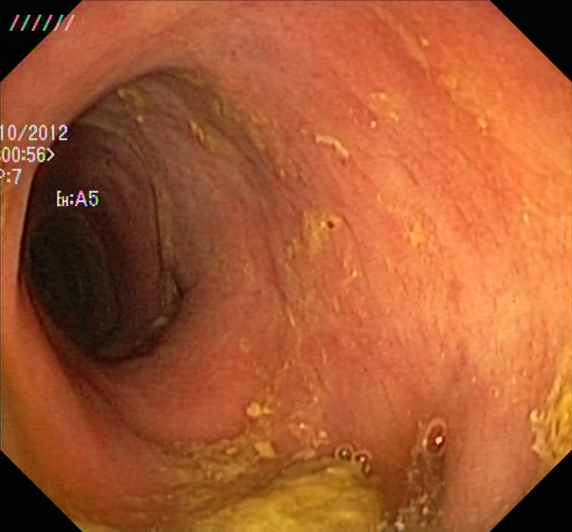Ulcerative colitis, Mayo endoscopic subscore 2.